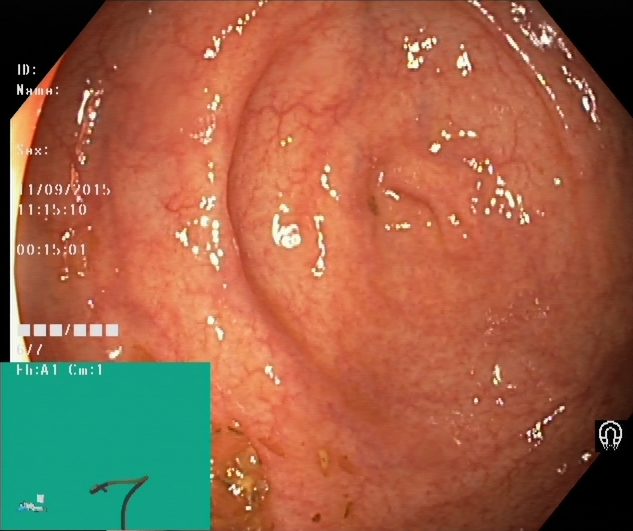Cecum.